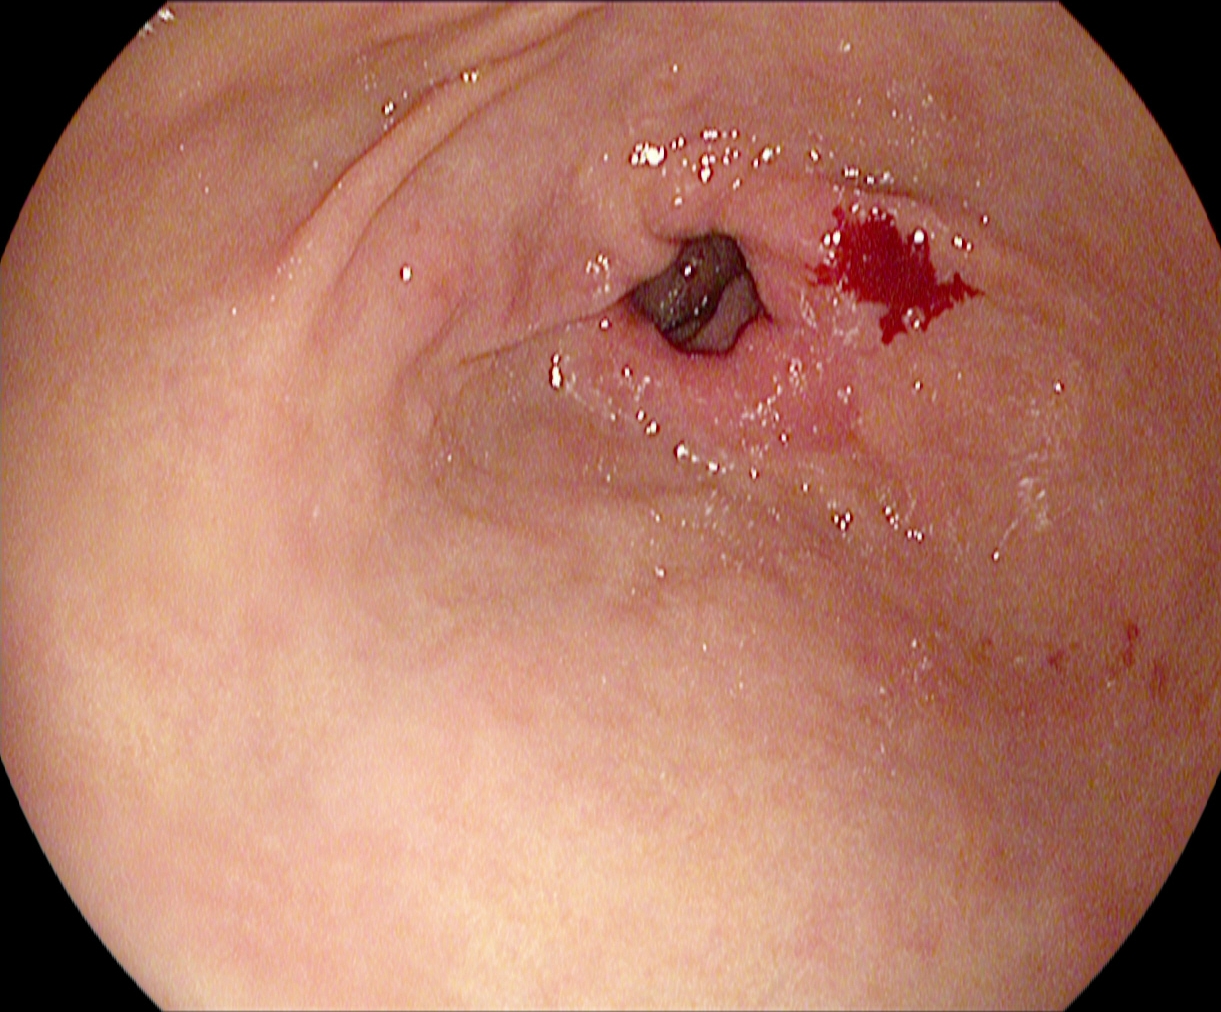EGD. Finding: pylorus.